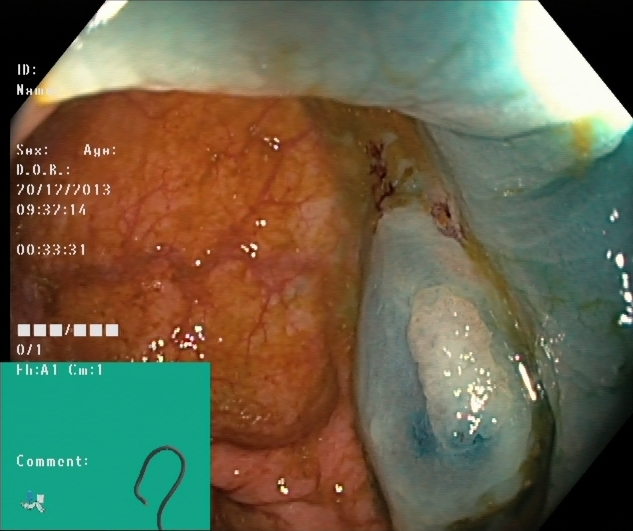{"modality": "lower-GI endoscopy", "category": "therapeutic intervention", "finding": "dyed and lifted polyp (pre-resection)"}